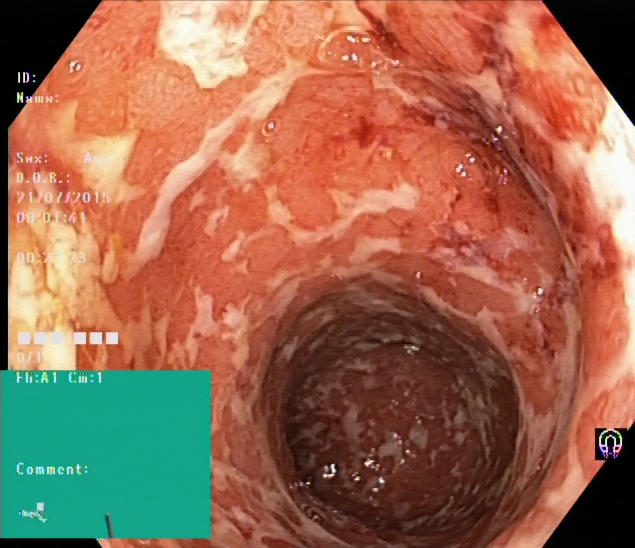This endoscopy frame shows ulcerative colitis, Mayo endoscopic subscore 2.